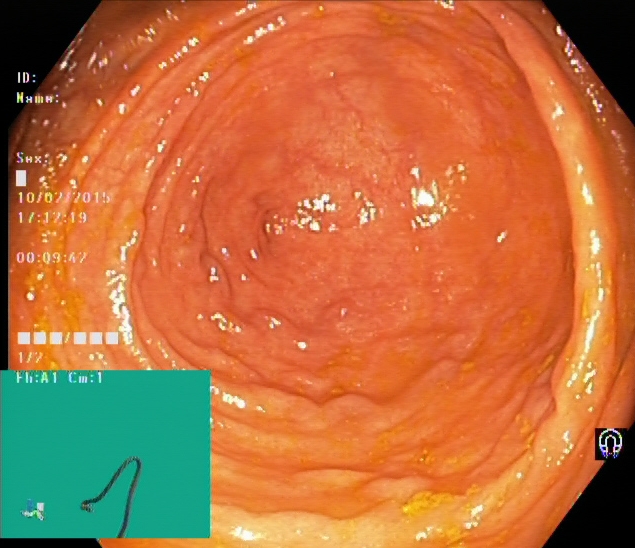{"modality": "lower-GI endoscopy", "finding": "cecum"}